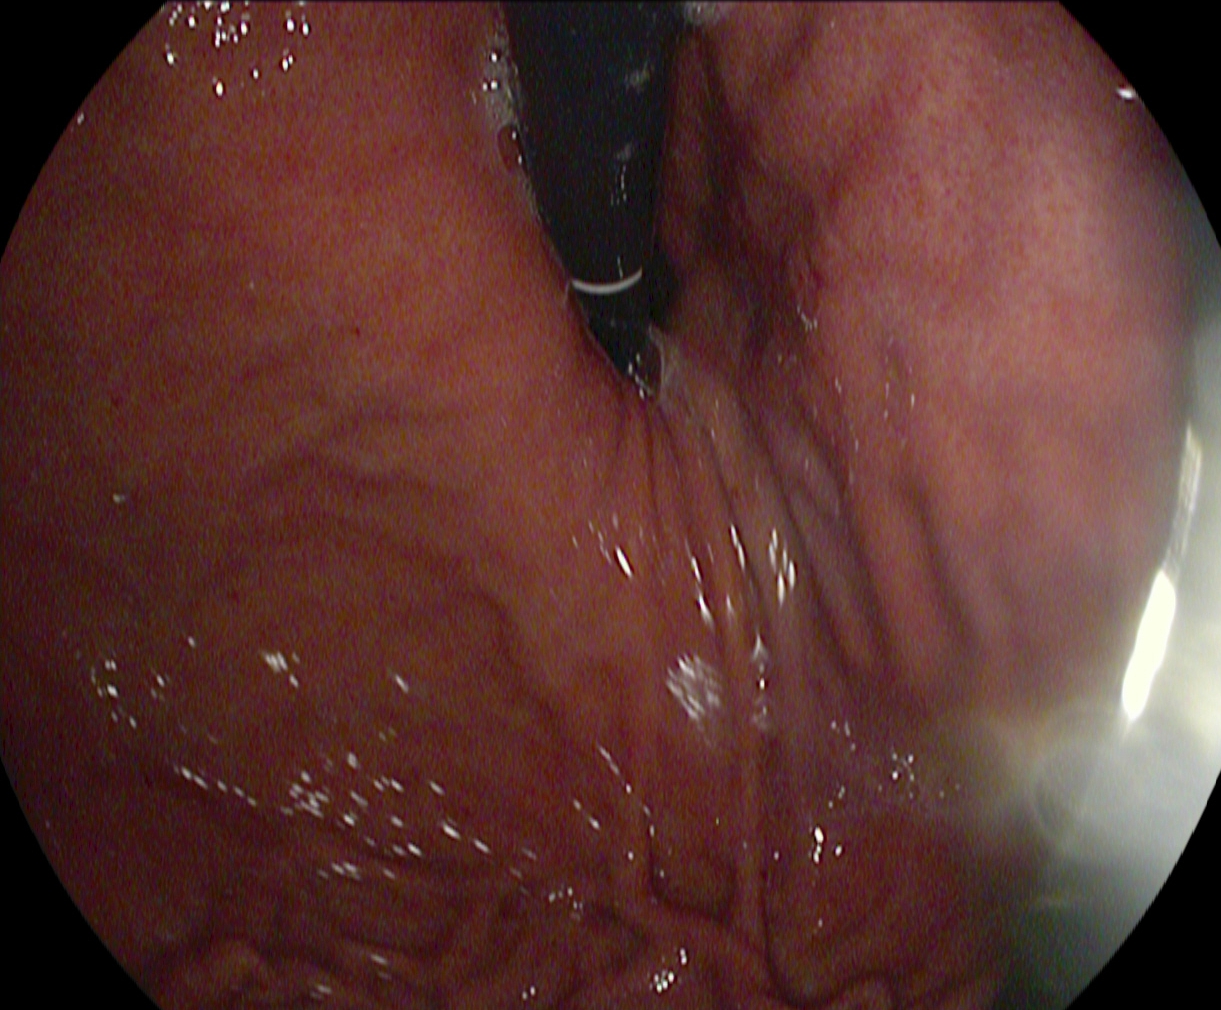This endoscopic image shows stomach in retroflexion.